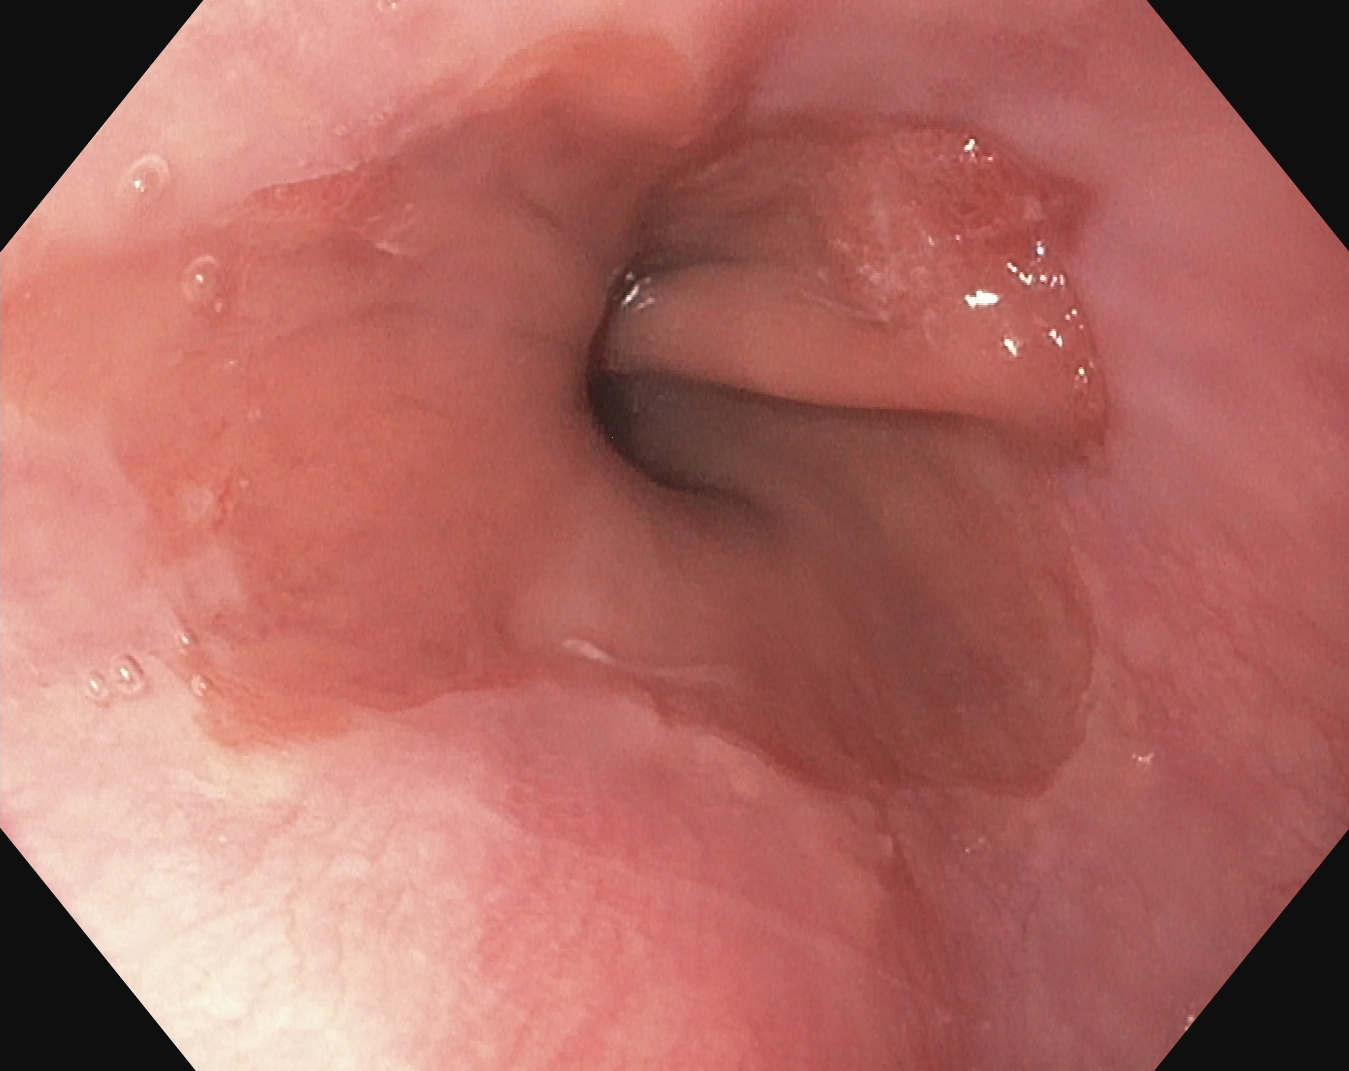modality: EGD
finding: reflux esophagitis, LA grade A